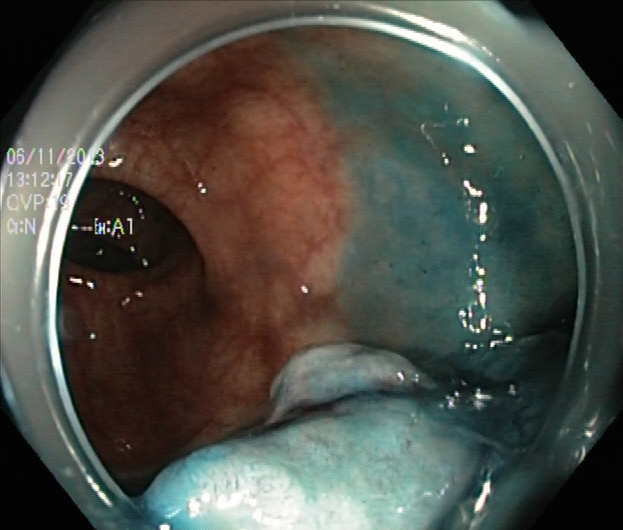{"modality": "lower gastrointestinal endoscopy", "tract": "lower GI tract", "category": "therapeutic intervention", "finding": "dyed and lifted polyp (pre-resection)"}